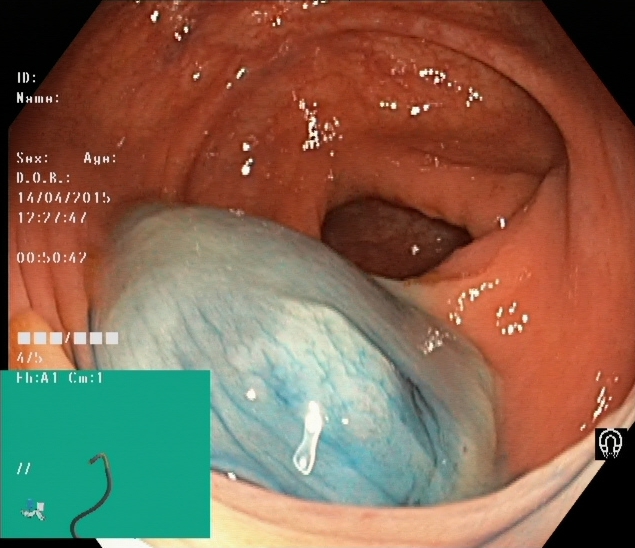Colonoscopy — dyed and lifted polyp (pre-resection).